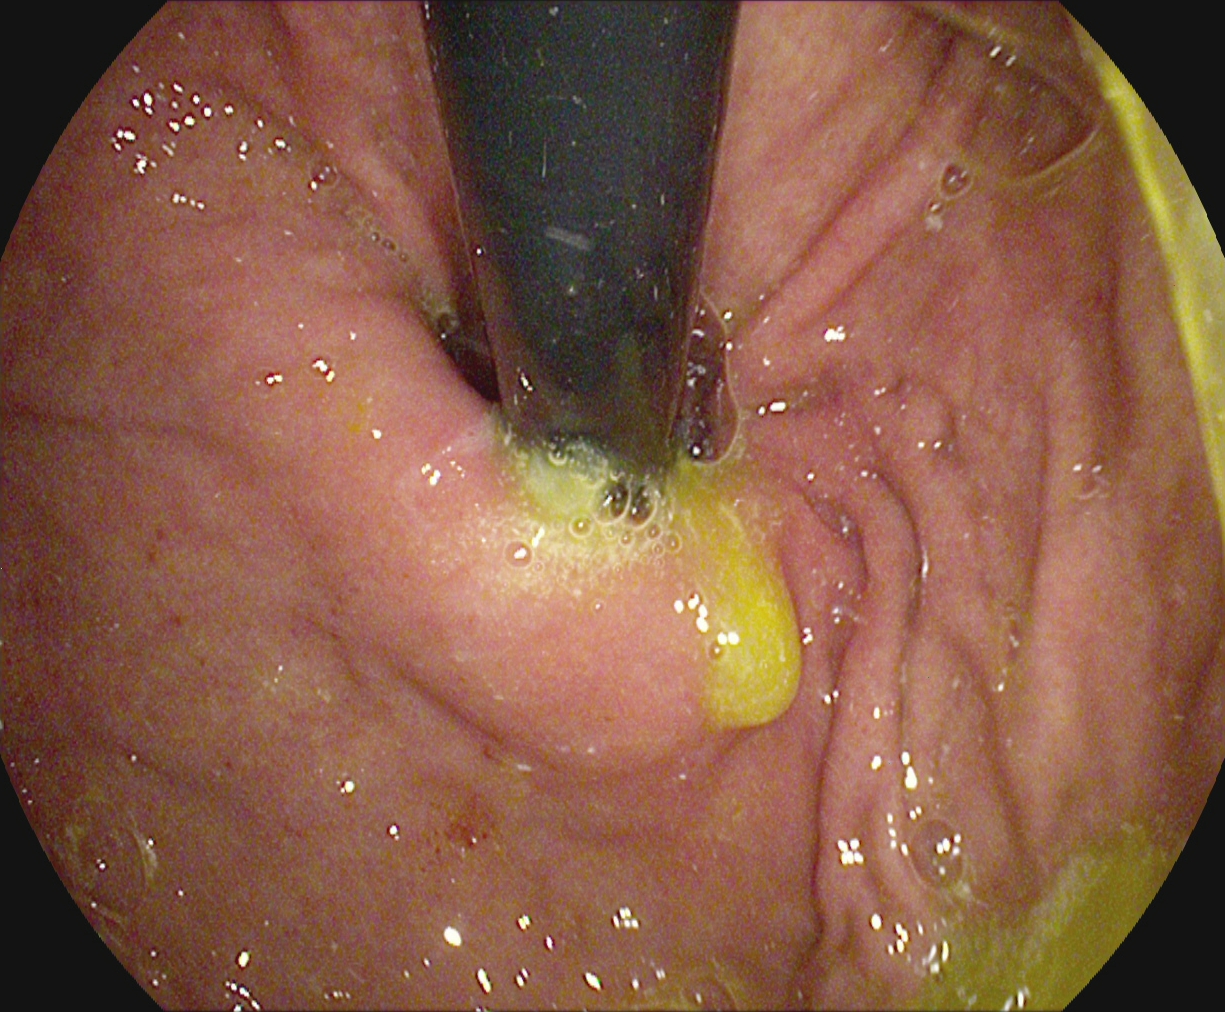Gastrointestinal endoscopy image of the upper GI tract showing stomach in retroflexion.